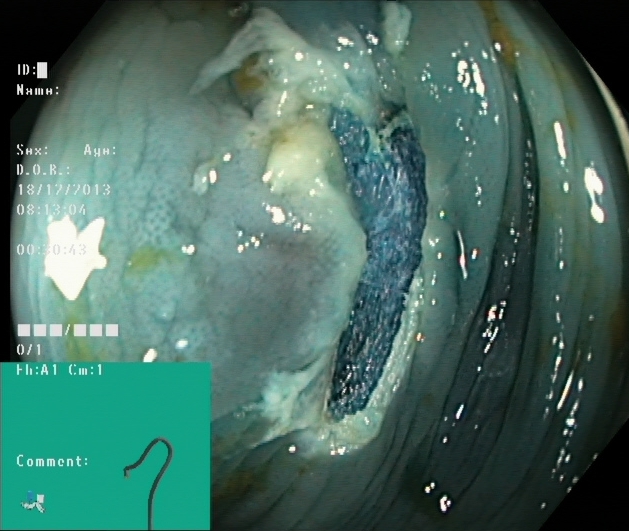This endoscopy frame of the lower GI tract shows dyed resection margins (post-polypectomy).